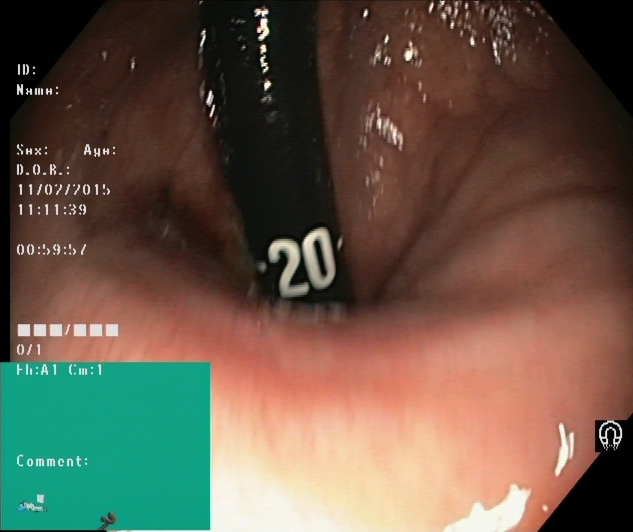Colonoscopy — rectum in retroflexion.